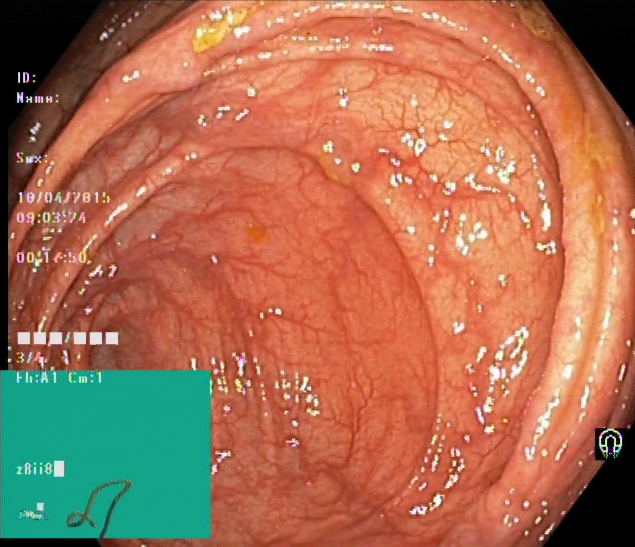modality: colonoscopy; tract: lower GI tract; category: anatomical landmark; finding: cecum